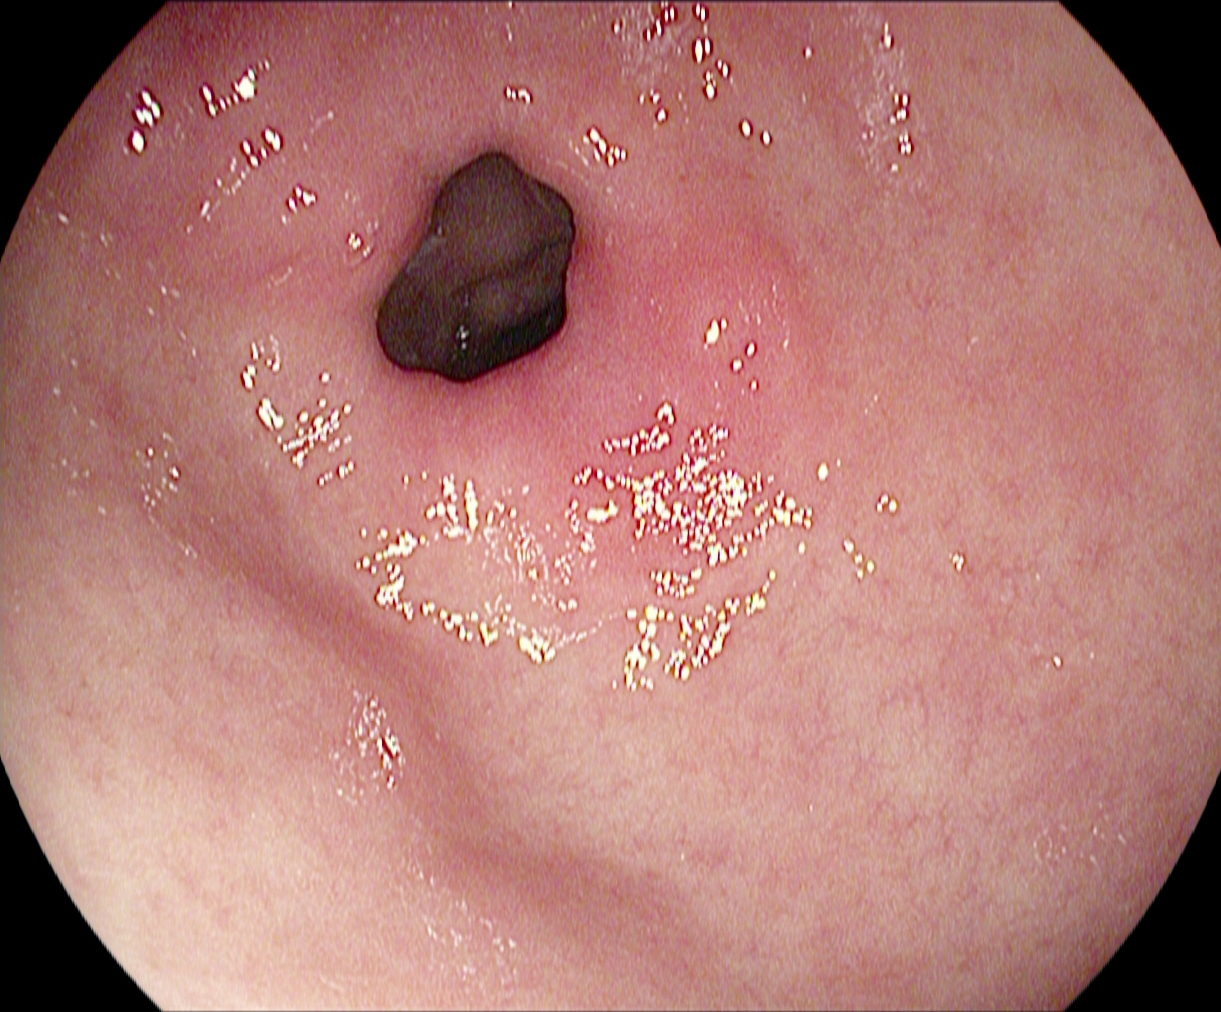Pylorus.